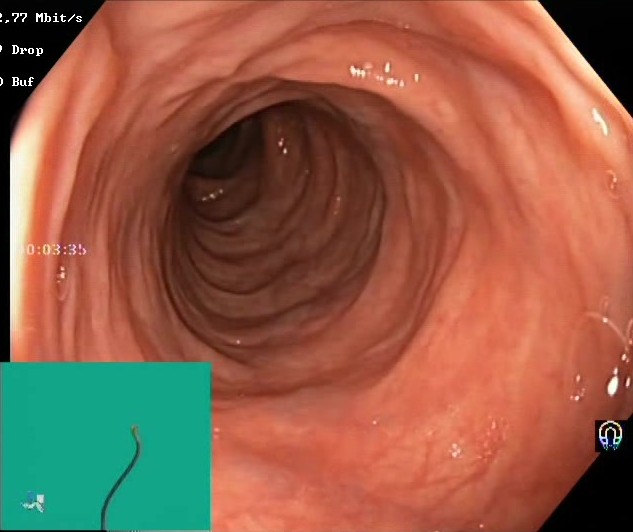{"modality": "colonoscopy", "tract": "lower GI tract", "finding": "Boston Bowel Preparation Scale score 2\u20133 (adequate preparation)"}